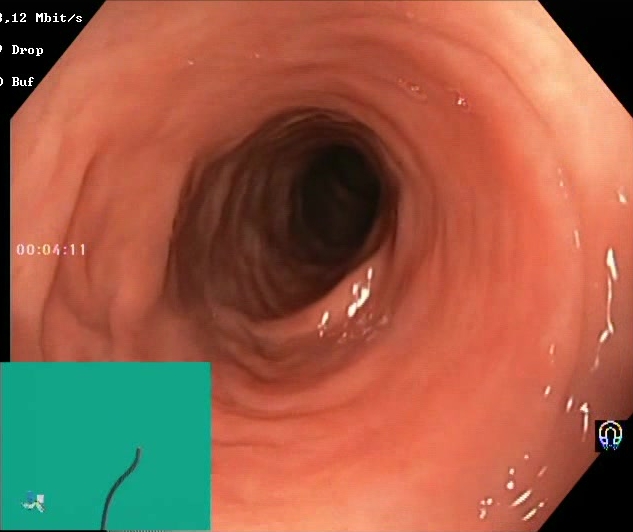Gastrointestinal endoscopy image of the lower GI tract showing BBPS score 2–3 (adequate preparation).